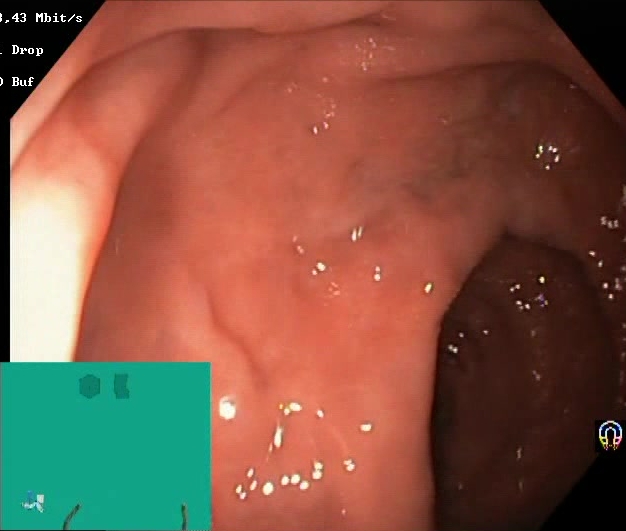PROCEDURE: Lower gastrointestinal endoscopy.
CATEGORY: Mucosal-view quality.
FINDINGS: Boston Bowel Preparation Scale score 2–3 (adequate preparation).